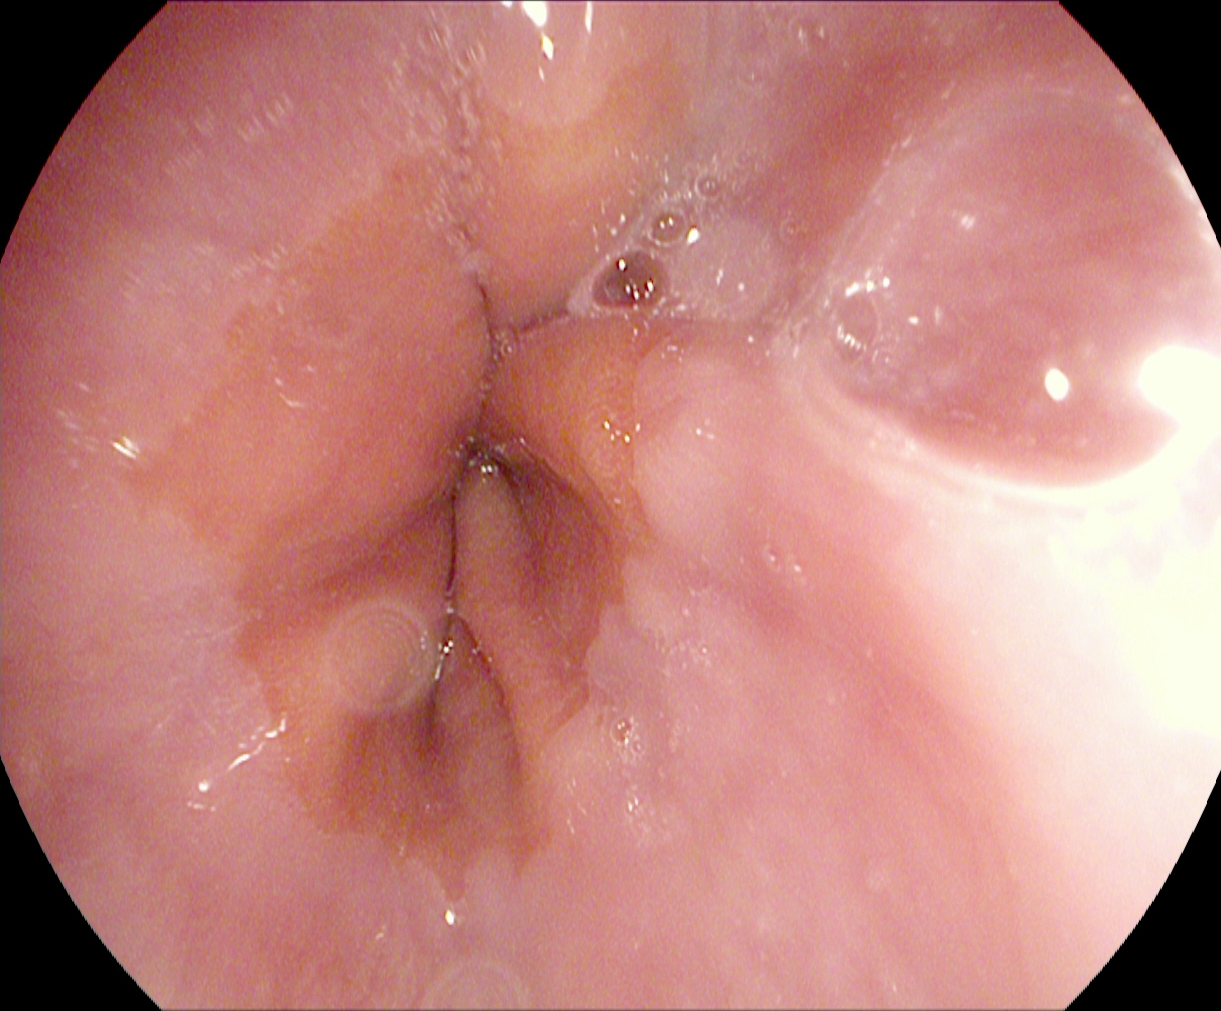{"modality": "esophagogastroduodenoscopy", "tract": "upper GI tract", "finding": "Z-line (gastroesophageal junction)"}